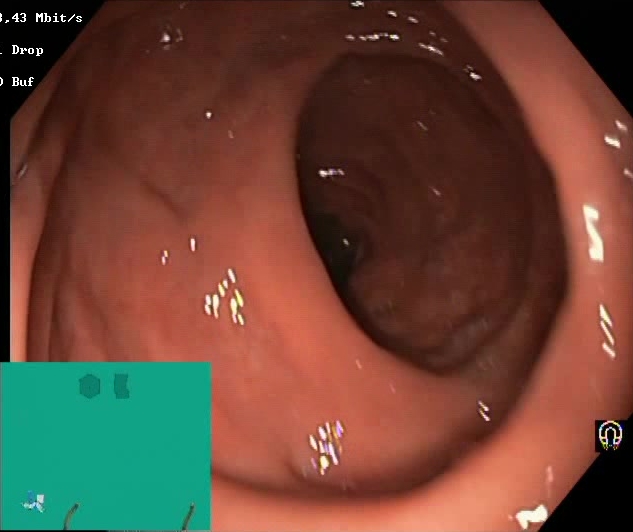This endoscopic image of the lower GI tract shows Boston Bowel Preparation Scale score 2–3 (adequate preparation).